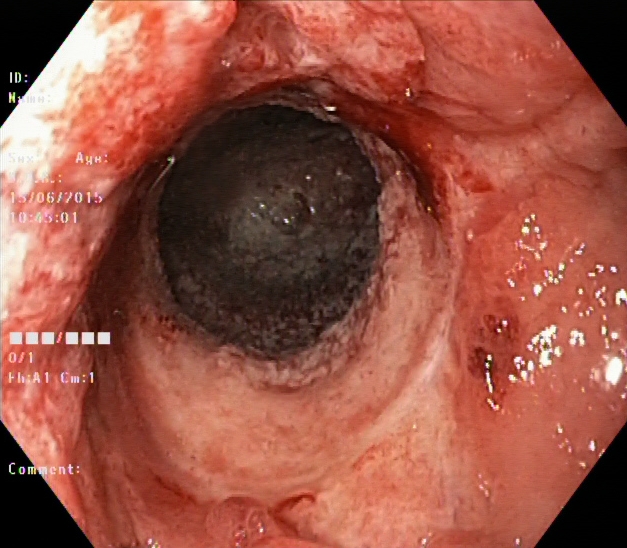modality: colonoscopy | category: pathological finding | finding: ulcerative colitis, Mayo endoscopic subscore 3